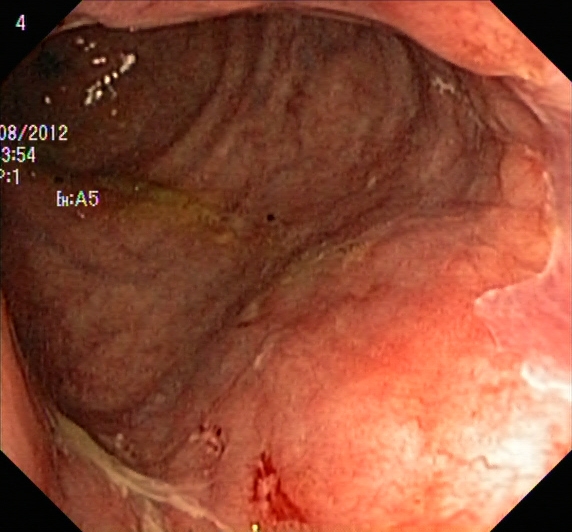Colonoscopy. Tract: lower GI tract. Finding: UC, Mayo endoscopic subscore 1.